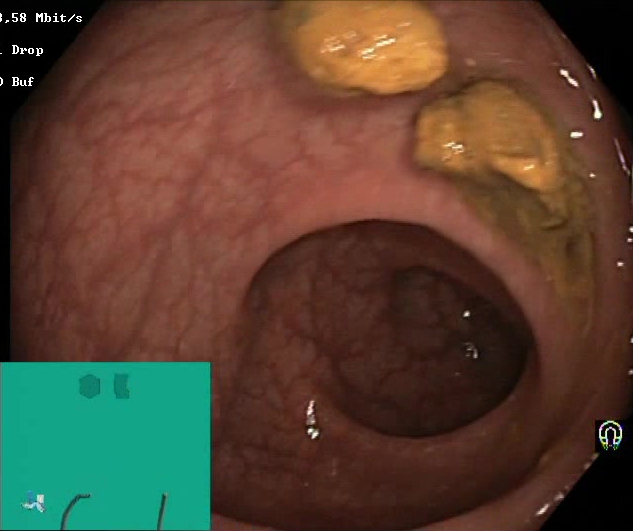Impacted stool.